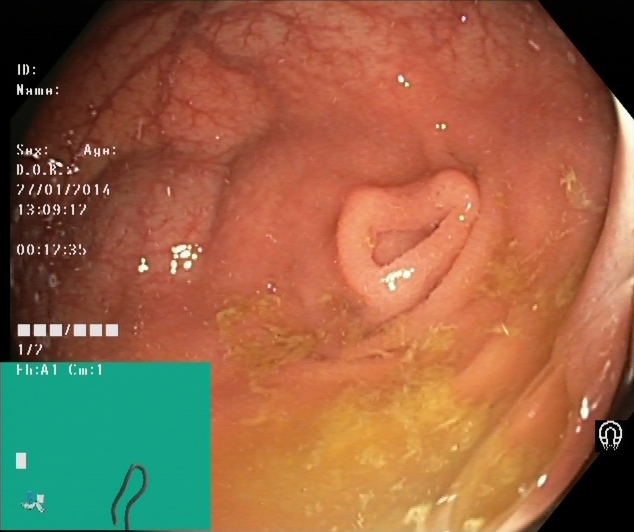Lower gastrointestinal endoscopy image of the lower GI tract showing cecum.